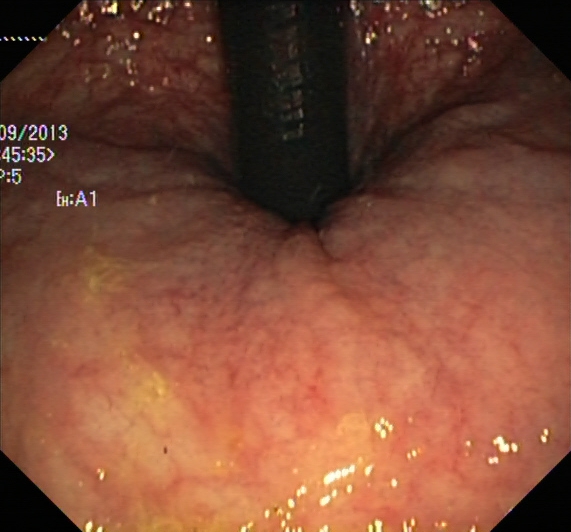Lower gastrointestinal endoscopy — rectum in retroflexion.